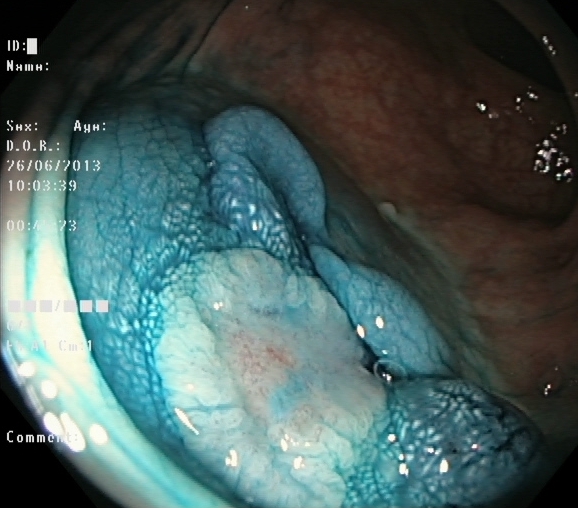PROCEDURE: Lower gastrointestinal endoscopy.
FINDINGS: Dyed and lifted polyp (pre-resection).